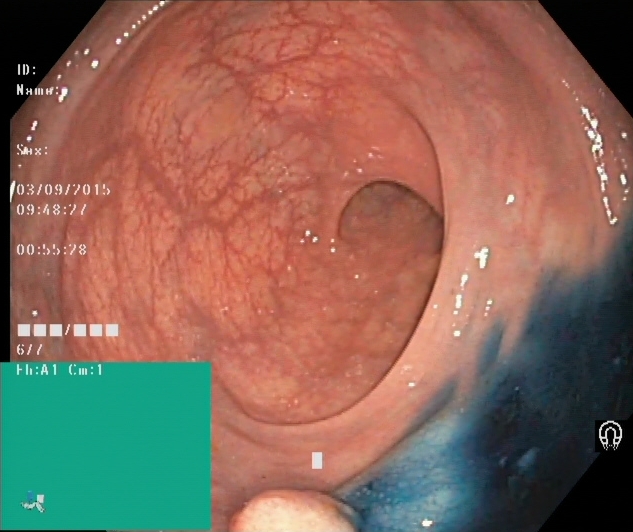PROCEDURE: Colonoscopy.
FINDINGS: Dyed and lifted polyp (pre-resection).